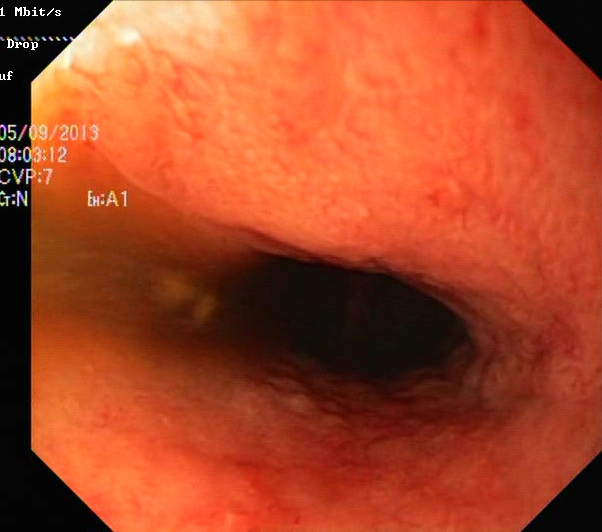{"modality": "lower-GI endoscopy", "finding": "UC, Mayo endoscopic subscore 2"}